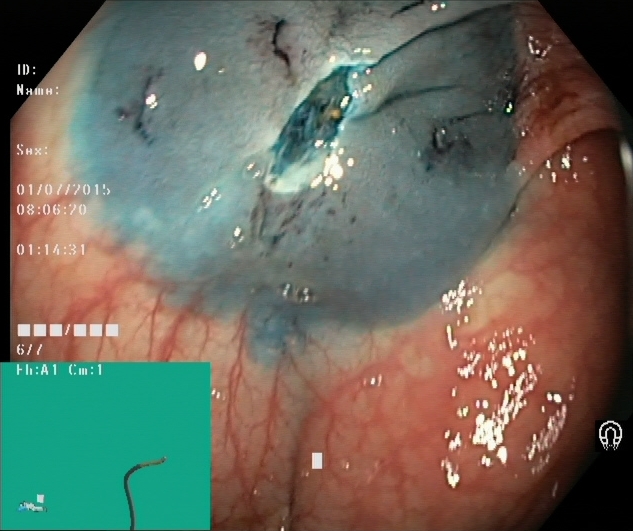PROCEDURE: Lower gastrointestinal endoscopy.
CATEGORY: Therapeutic intervention.
FINDINGS: Dyed resection margins (post-polypectomy).